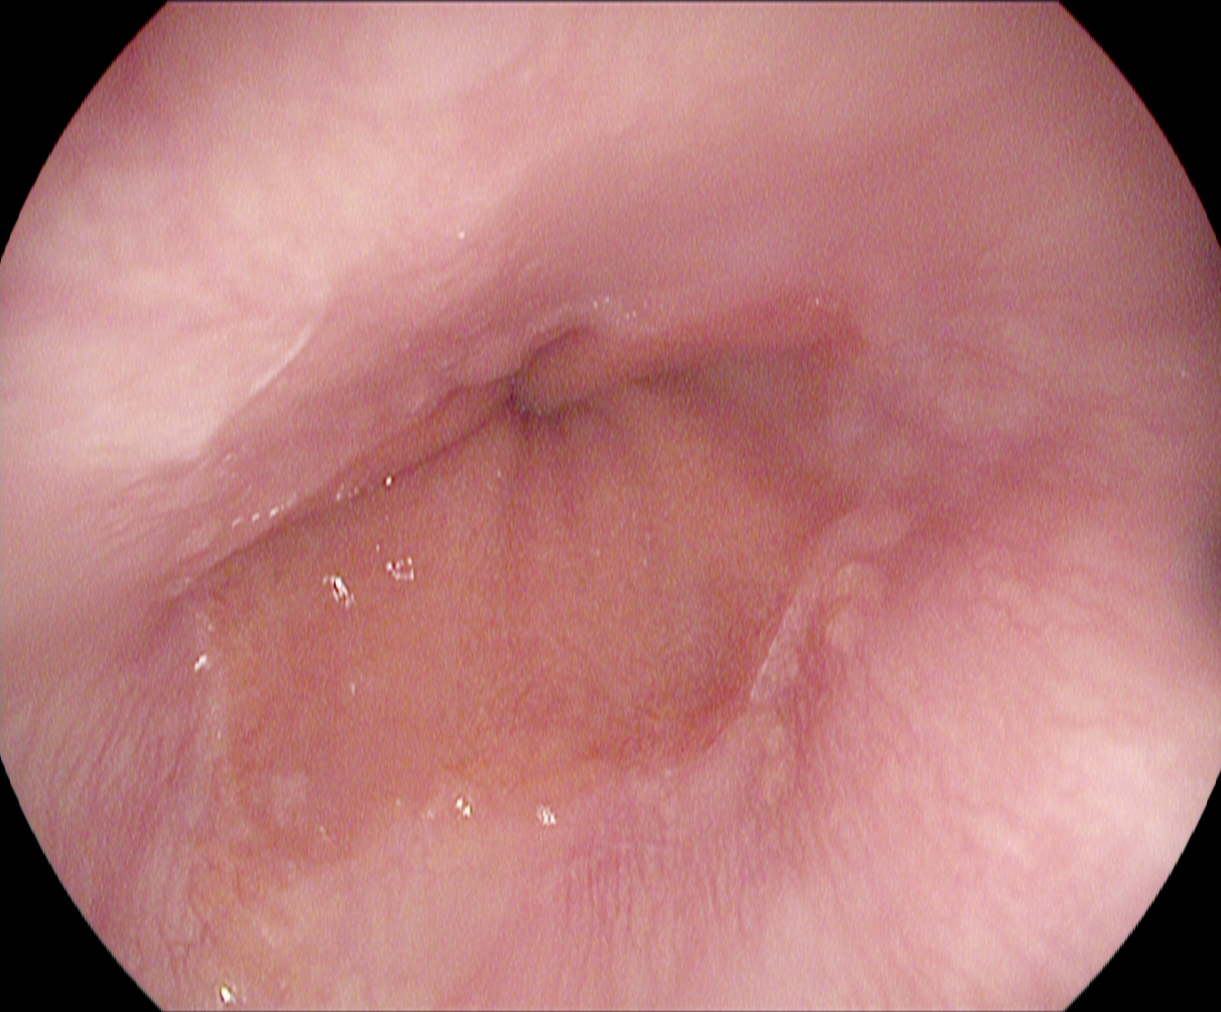Z-line (gastroesophageal junction).